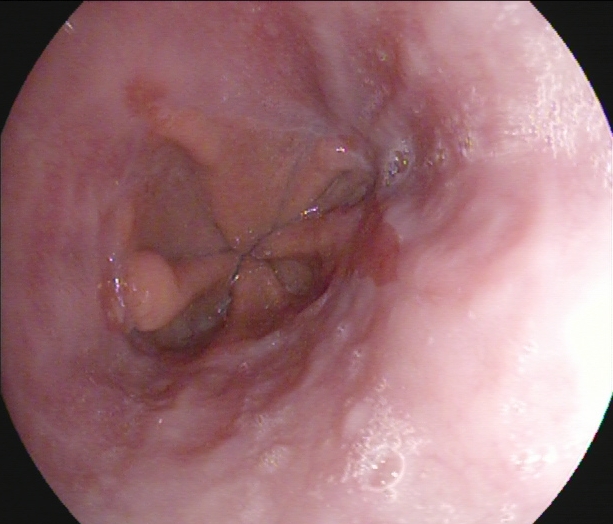Upper-GI endoscopy — reflux esophagitis, Los Angeles grade A.